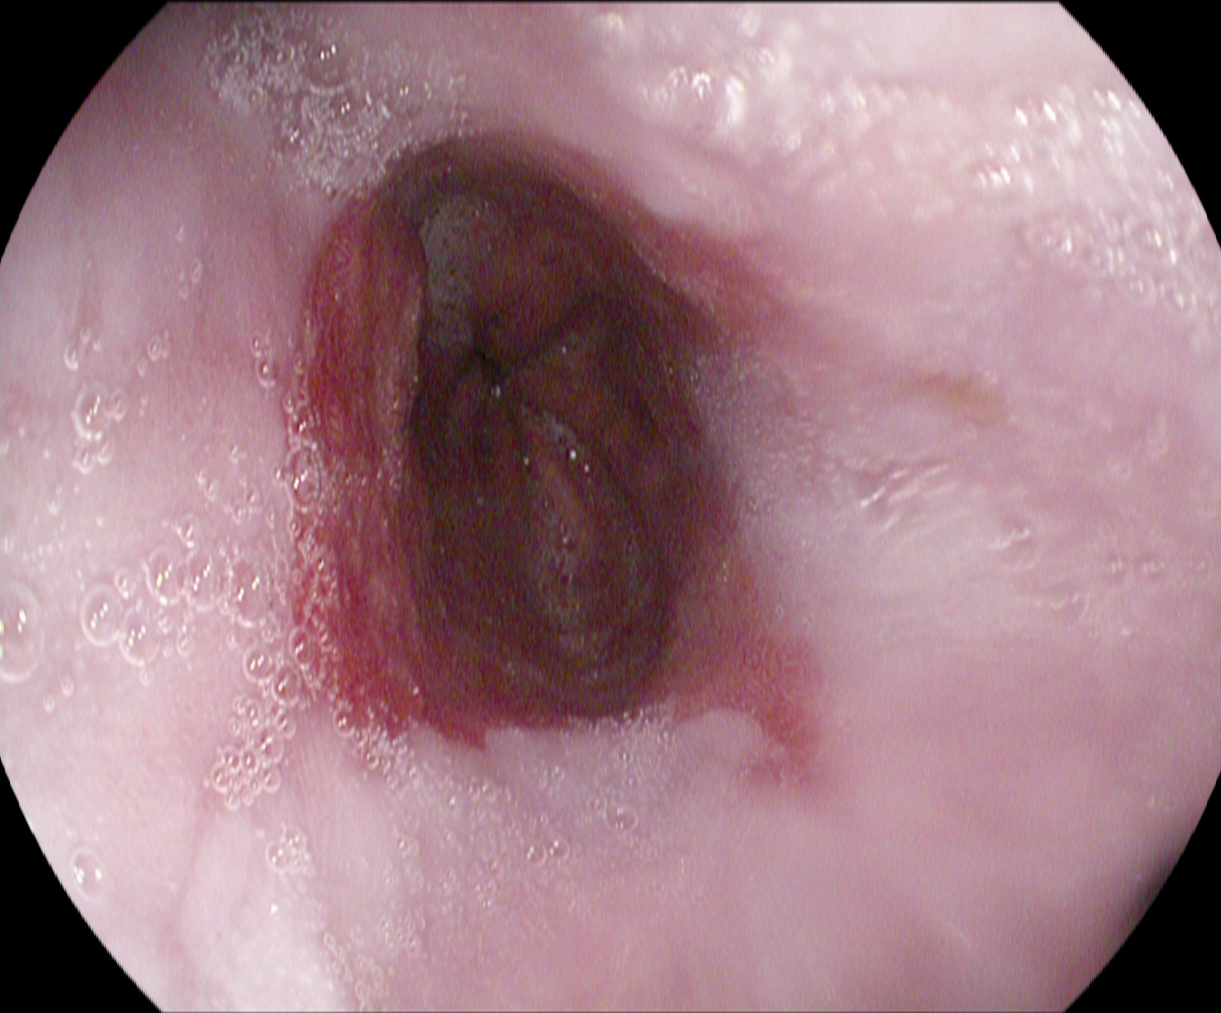EGD — reflux esophagitis, LA grade B–D.